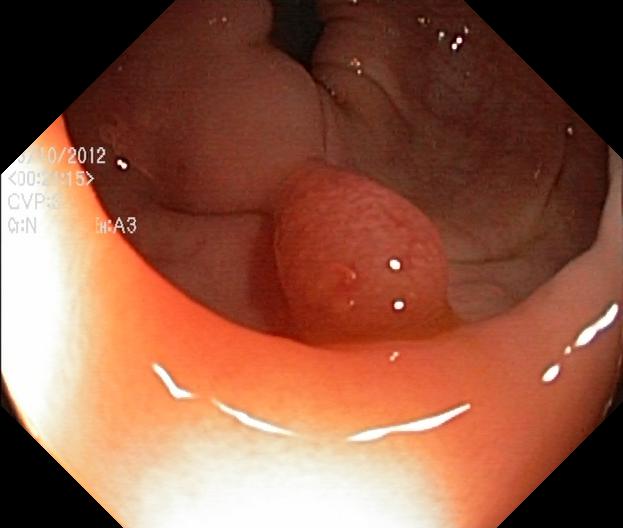PROCEDURE: Lower gastrointestinal endoscopy.
FINDINGS: Colorectal polyp(s).